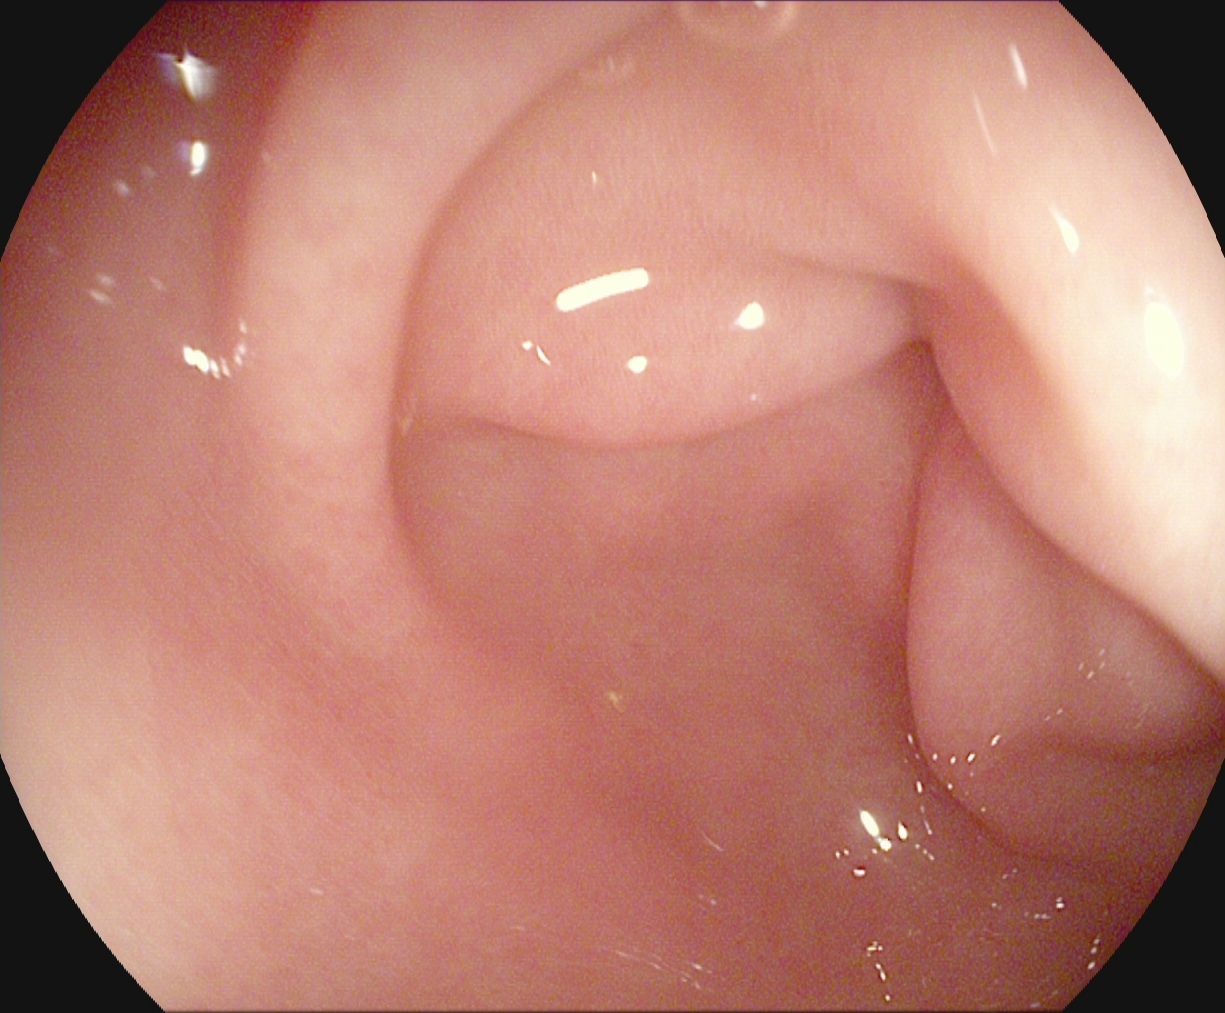PROCEDURE: Upper-GI endoscopy.
CATEGORY: Anatomical landmark.
FINDINGS: Pylorus.